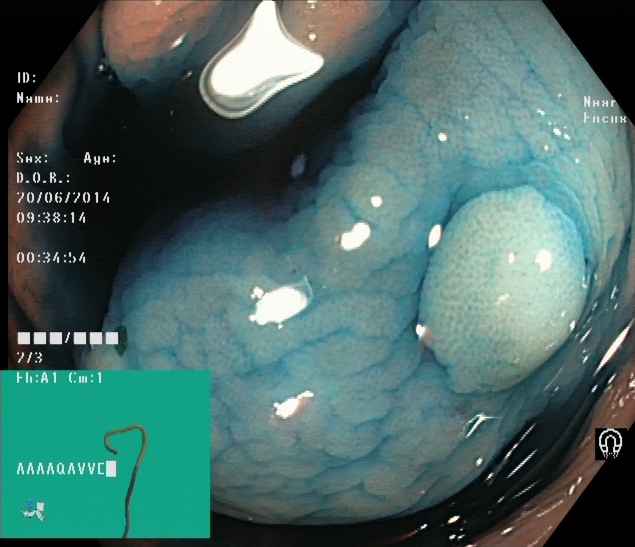Colonoscopy. Tract: lower GI tract. Therapeutic intervention. Finding: dyed and lifted polyp (pre-resection).